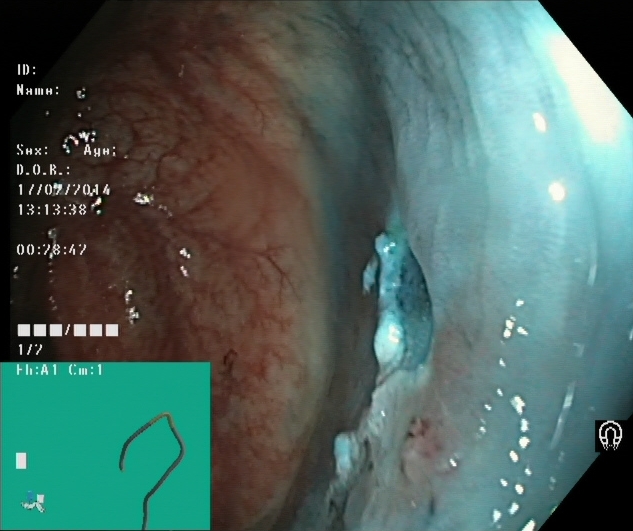Endoscopy image of the lower GI tract showing dyed resection margins (post-polypectomy).